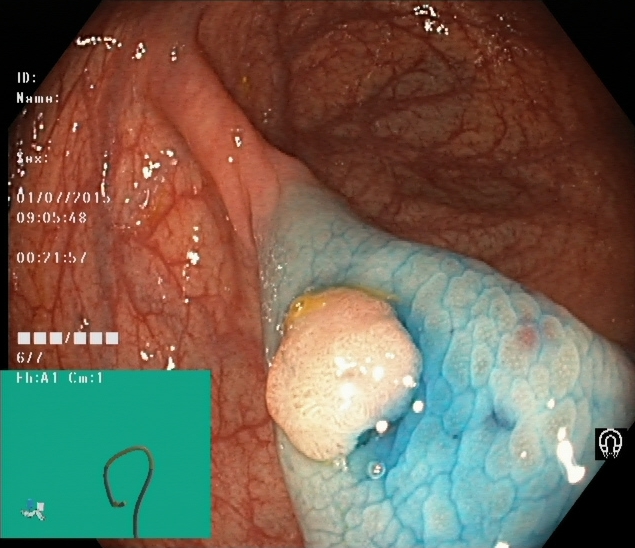{"modality": "lower-GI endoscopy", "tract": "lower GI tract", "finding": "dyed and lifted polyp (pre-resection)"}